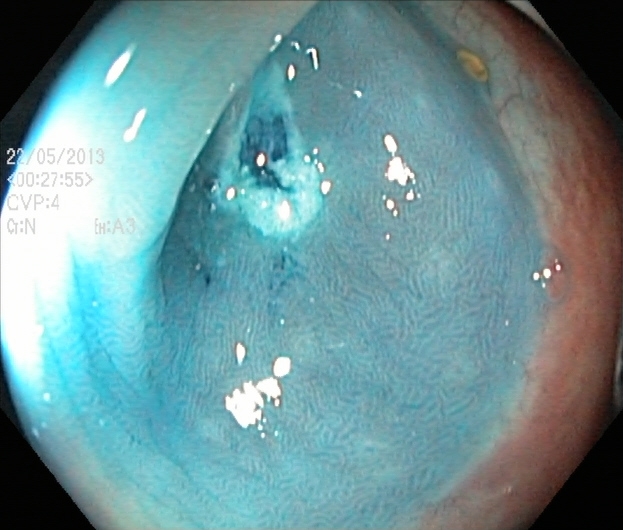This endoscopy frame of the lower GI tract shows dyed resection margins (post-polypectomy).